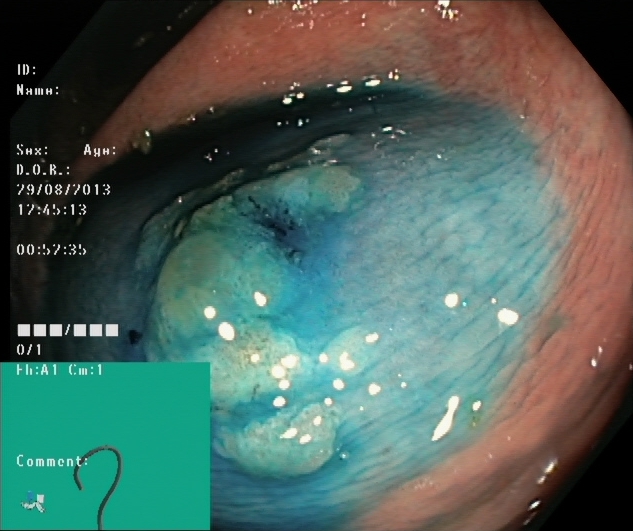Endoscopy image of the lower GI tract showing dyed and lifted polyp (pre-resection).